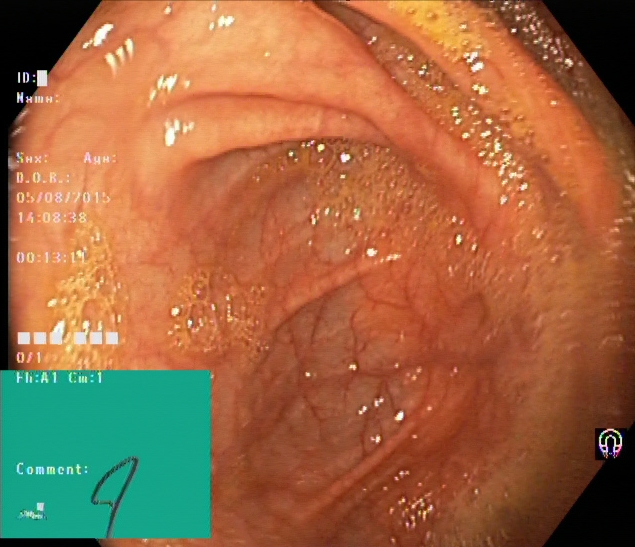cecum.